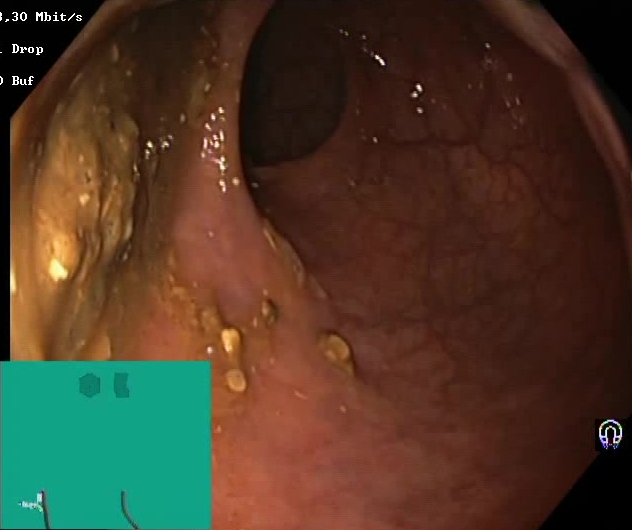PROCEDURE: Colonoscopy.
CATEGORY: Mucosal-view quality.
FINDINGS: Boston Bowel Preparation Scale score 0–1 (inadequate preparation).